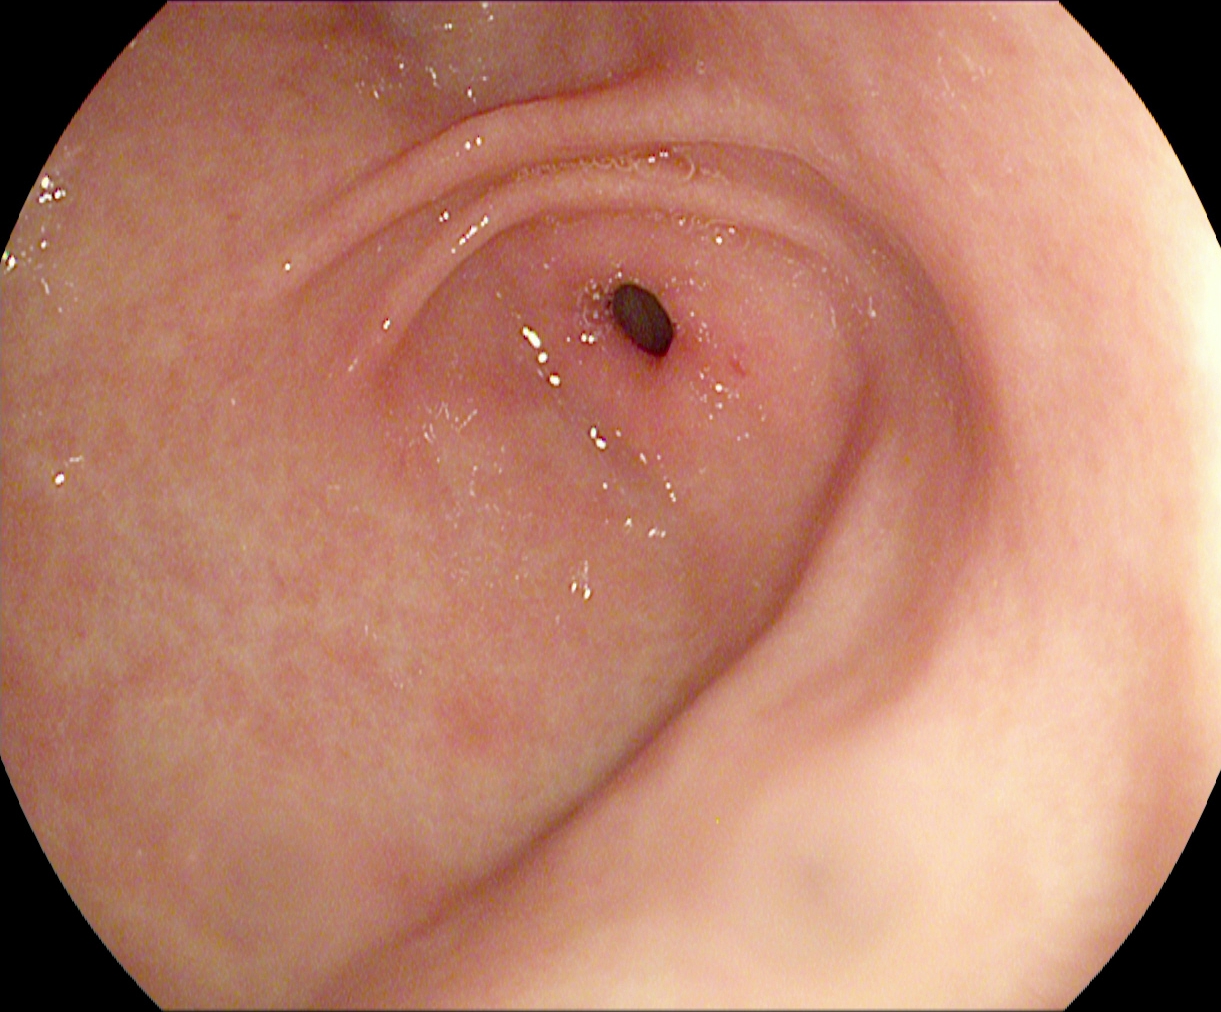modality: upper-GI endoscopy
tract: upper GI tract
category: anatomical landmark
finding: pylorus